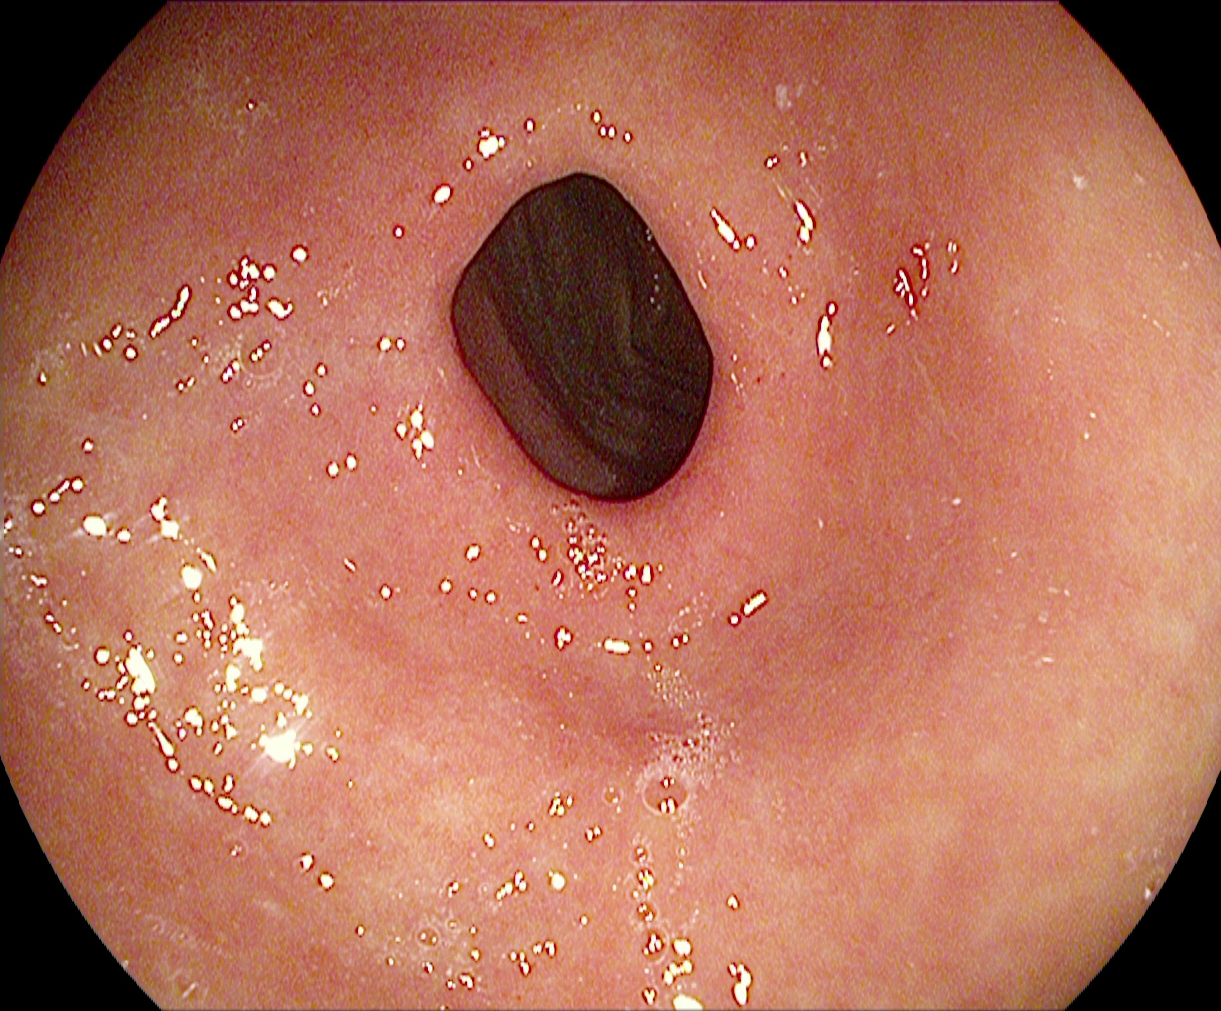{"modality": "EGD", "tract": "upper GI tract", "finding": "pylorus"}